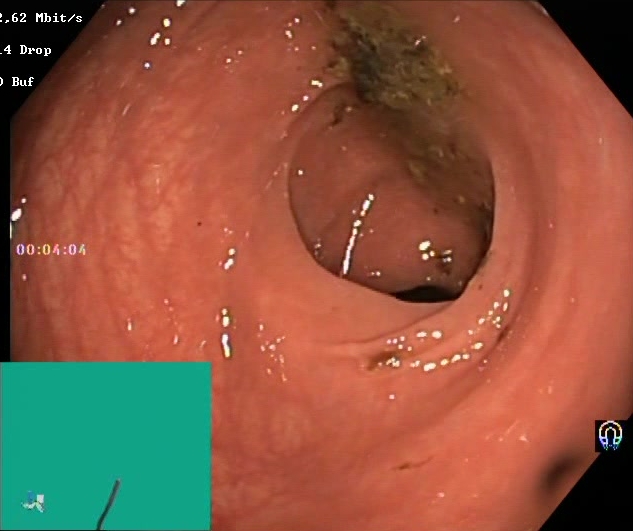This endoscopic image of the lower GI tract shows Boston Bowel Preparation Scale score 0–1 (inadequate preparation).